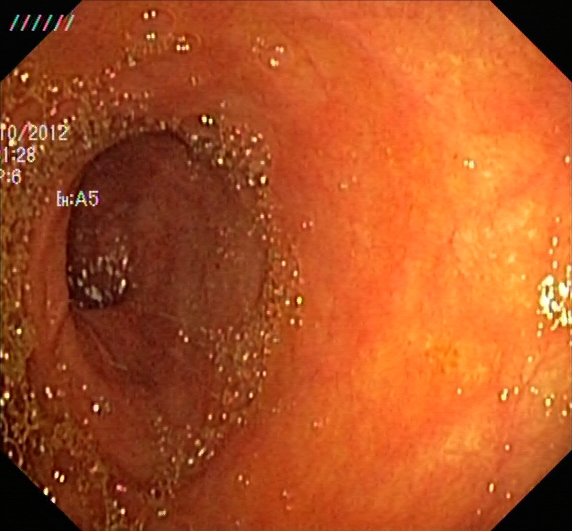PROCEDURE: Colonoscopy.
FINDINGS: UC, Mayo endoscopic subscore 1.